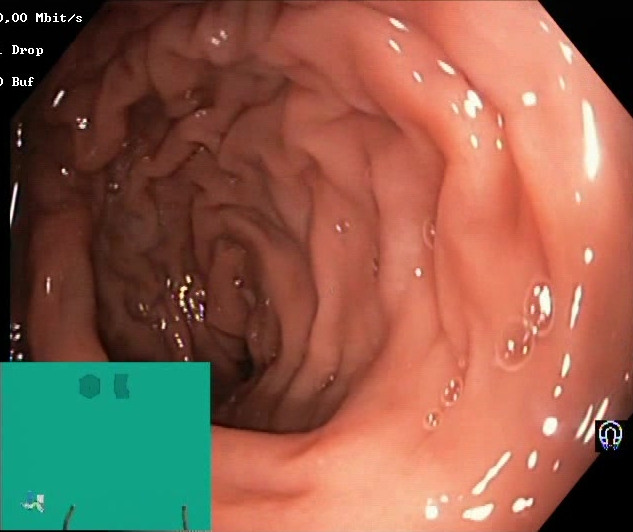{"modality": "colonoscopy", "tract": "lower GI tract", "category": "mucosal-view quality", "finding": "BBPS score 2\u20133 (adequate preparation)"}